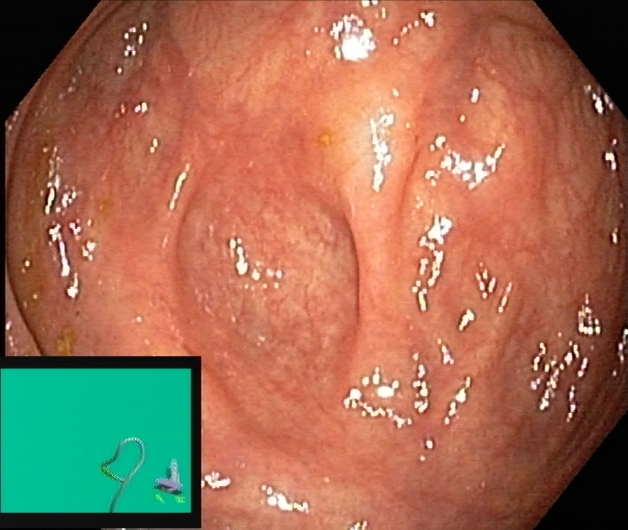Cecum.